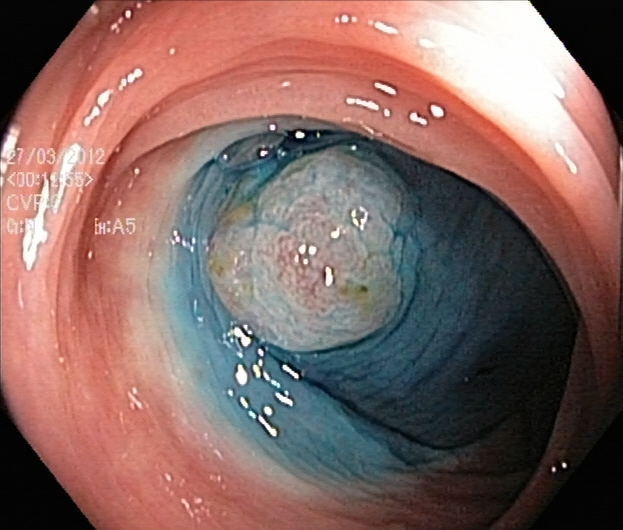This endoscopic image of the lower GI tract shows dyed and lifted polyp (pre-resection).